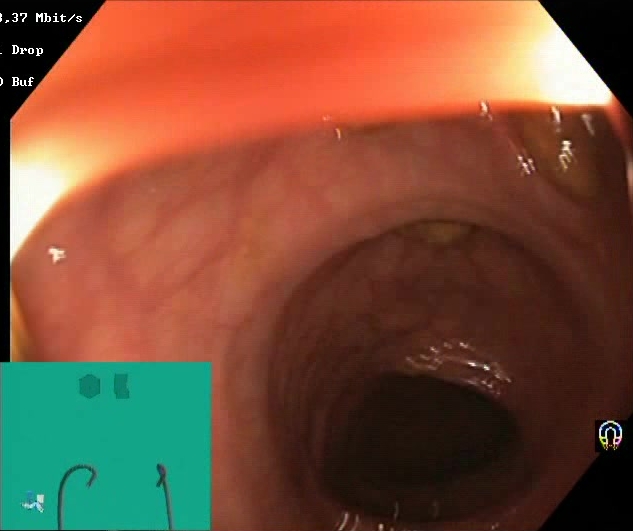Boston Bowel Preparation Scale score 2–3 (adequate preparation).